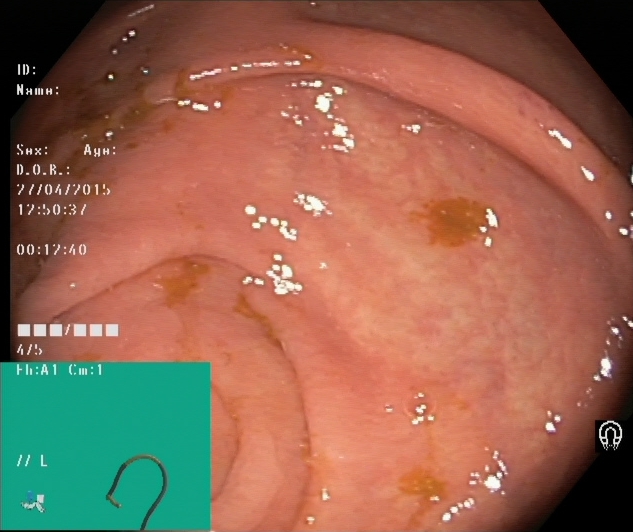Endoscopic frame showing cecum.